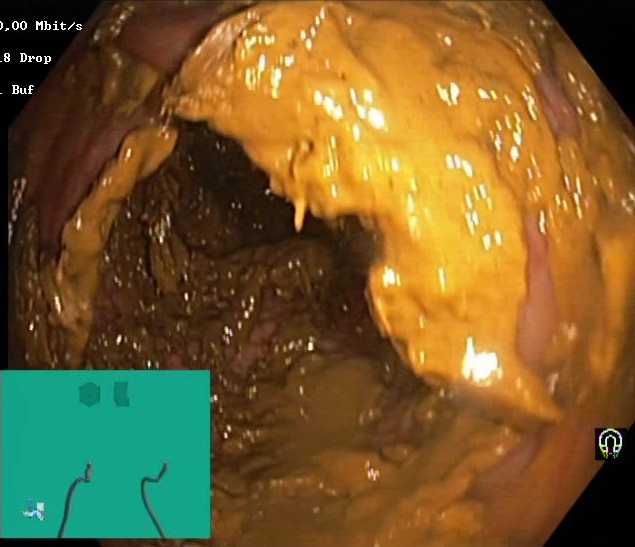modality: colonoscopy
category: mucosal-view quality
finding: Boston Bowel Preparation Scale score 0–1 (inadequate preparation)